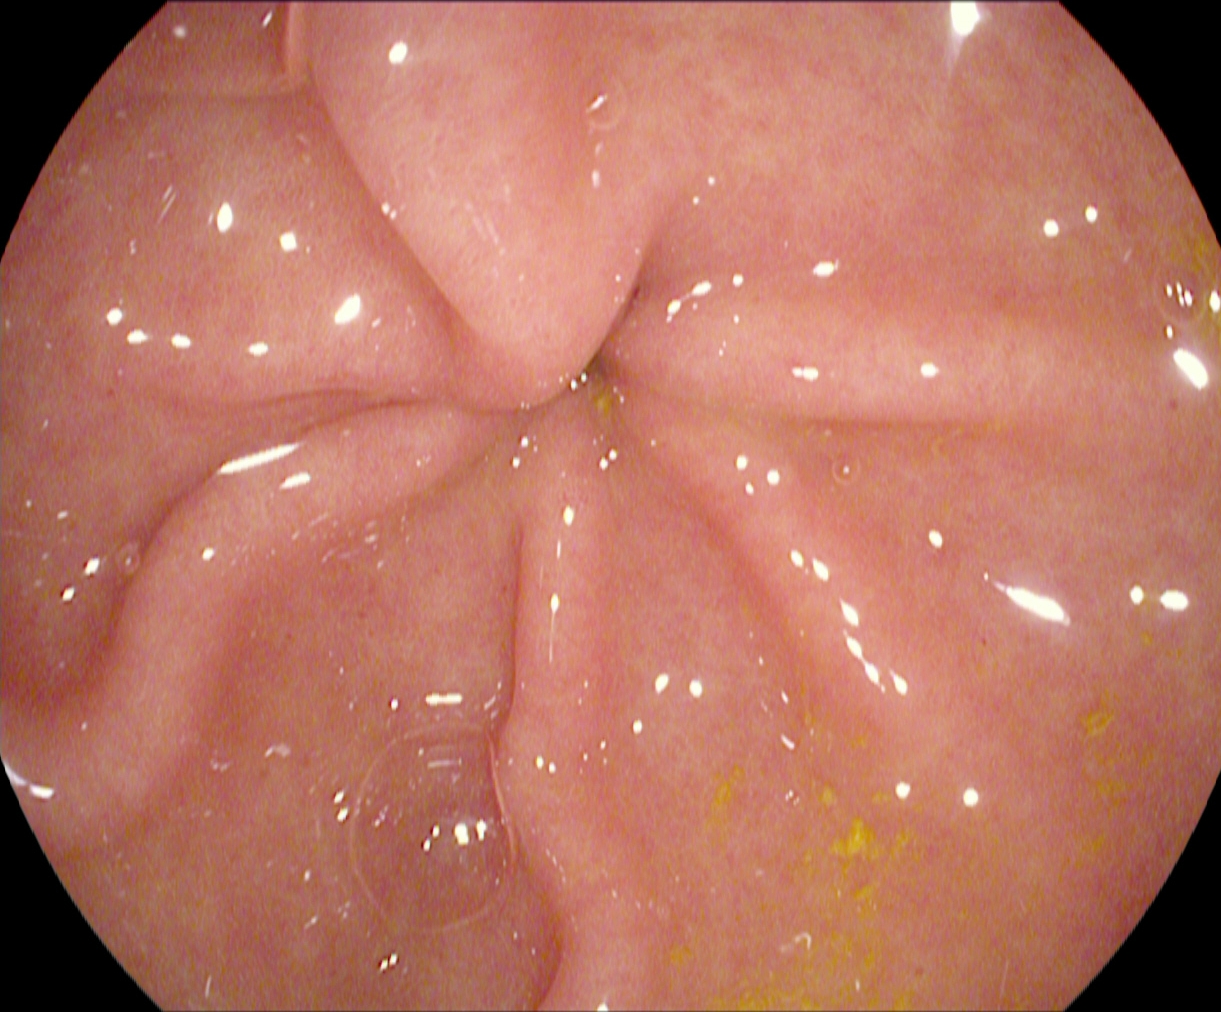Pylorus.